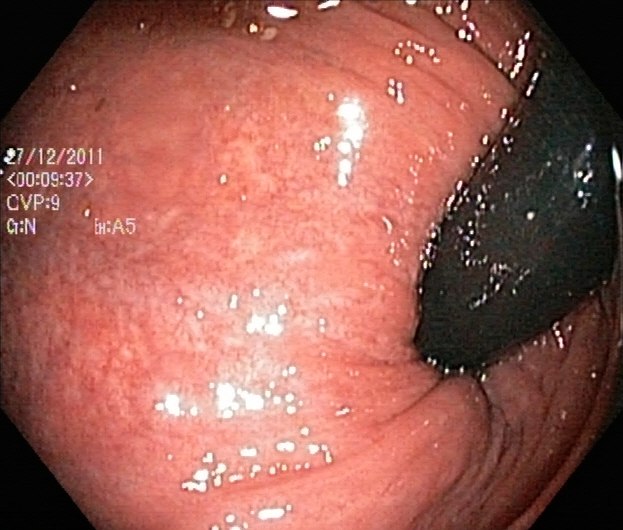Lower-GI endoscopy — rectum in retroflexion.